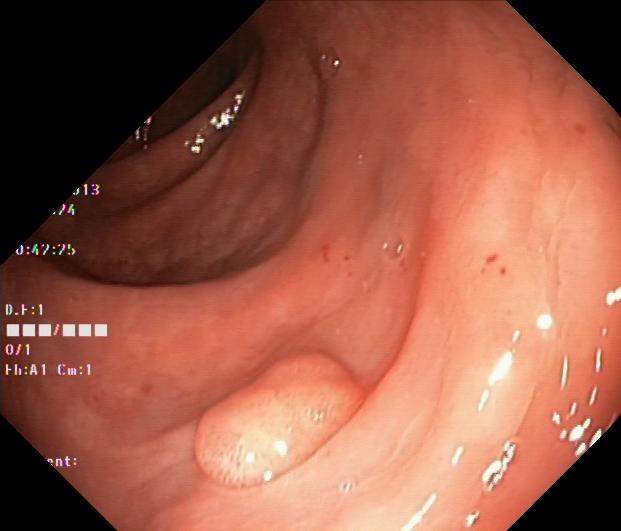GI endoscopy image of the lower GI tract showing colorectal polyp(s).